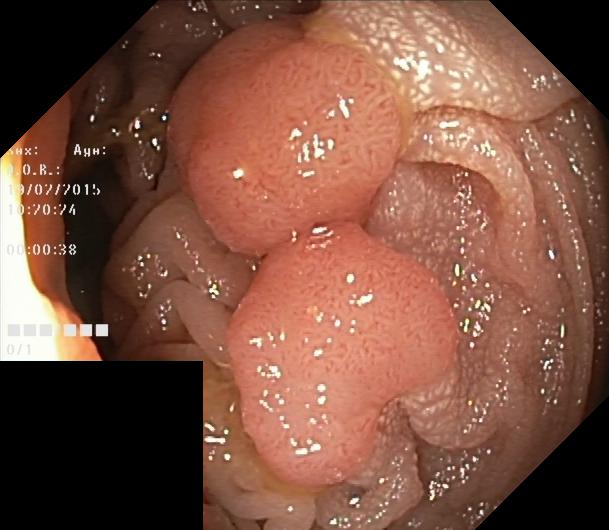This endoscopic image shows colorectal polyp(s).